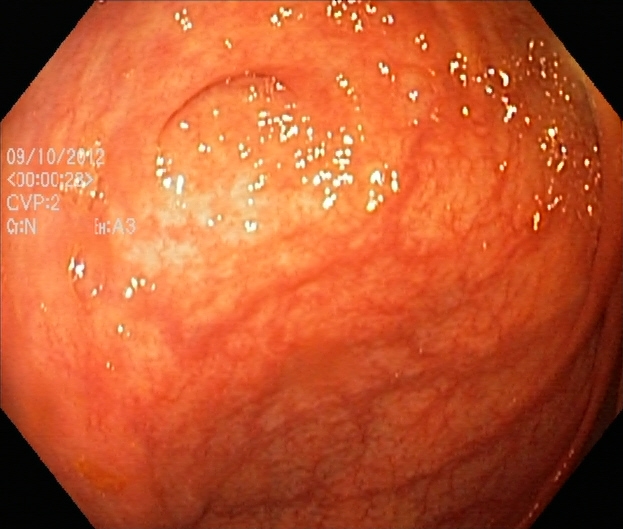Ulcerative colitis, Mayo endoscopic subscore 1.